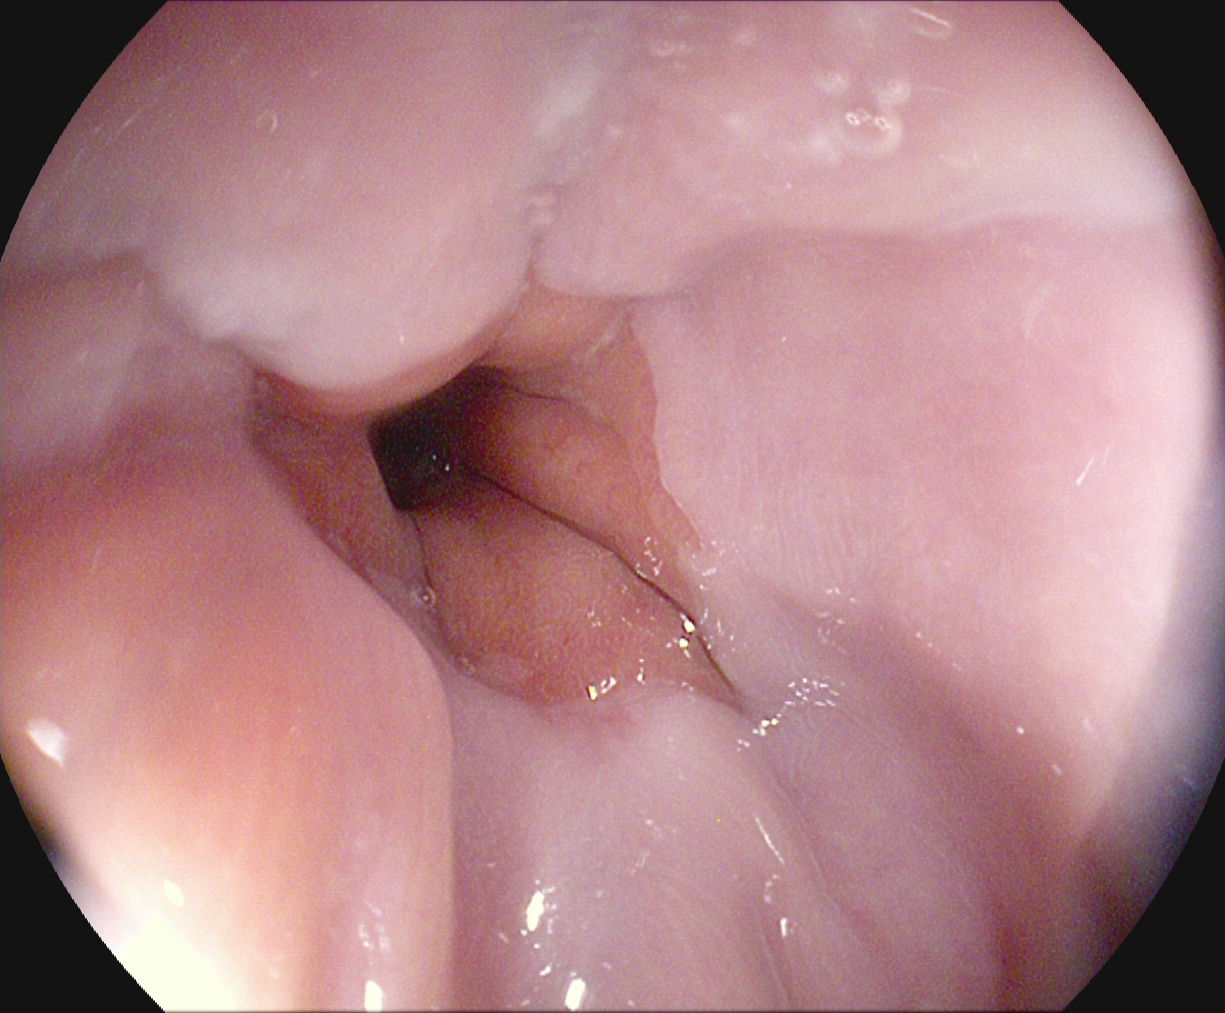modality: upper-GI endoscopy; tract: upper GI tract; category: anatomical landmark; finding: Z-line (gastroesophageal junction)